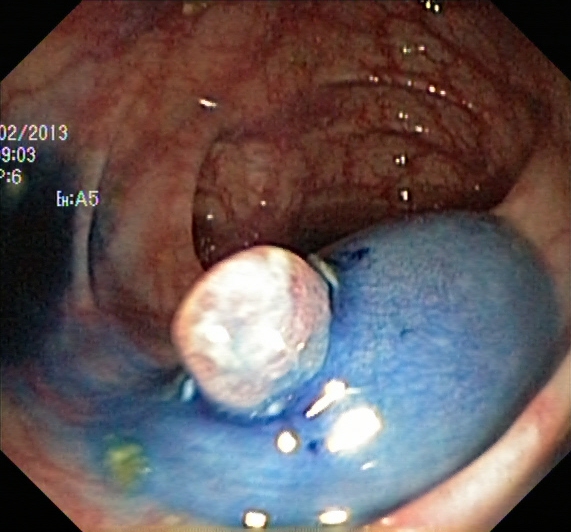{"modality": "colonoscopy", "category": "therapeutic intervention", "finding": "dyed and lifted polyp (pre-resection)"}